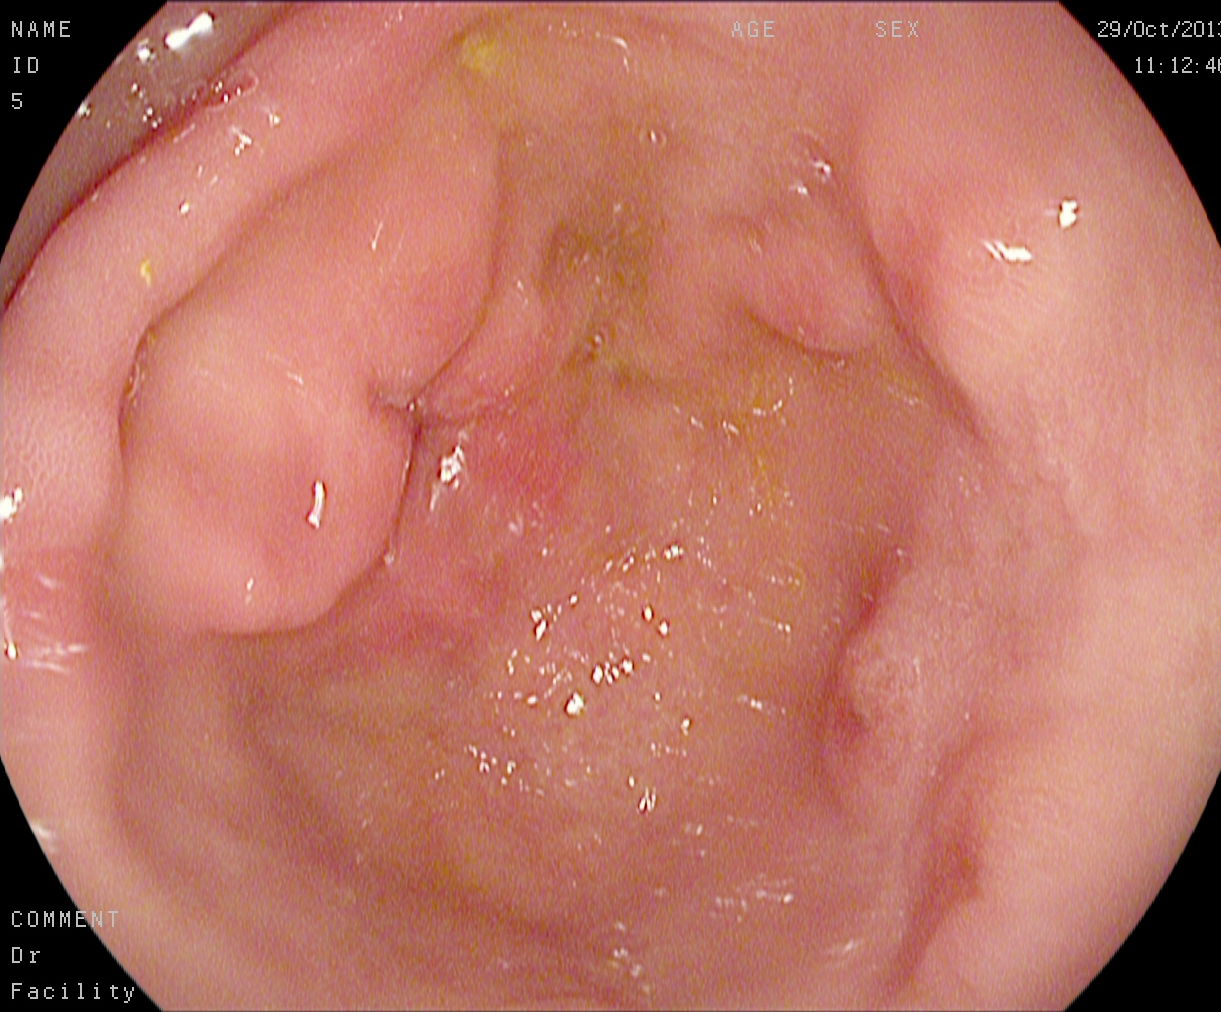This endoscopic image of the upper GI tract shows pylorus.